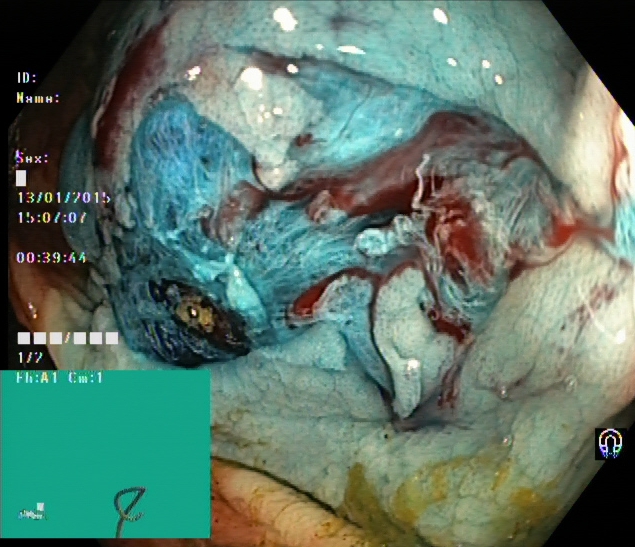Dyed resection margins (post-polypectomy).